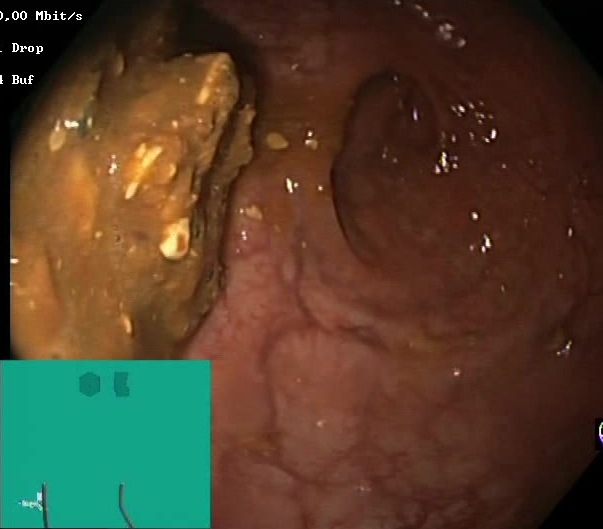Lower-GI endoscopy image of the lower GI tract showing BBPS score 0–1 (inadequate preparation).